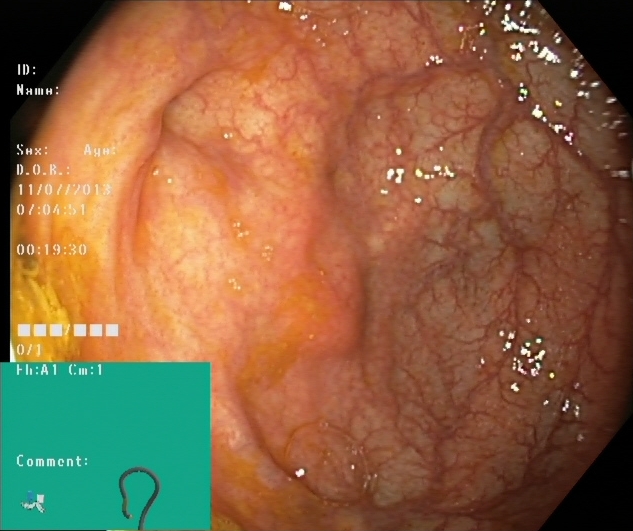{"modality": "lower-GI endoscopy", "finding": "cecum"}